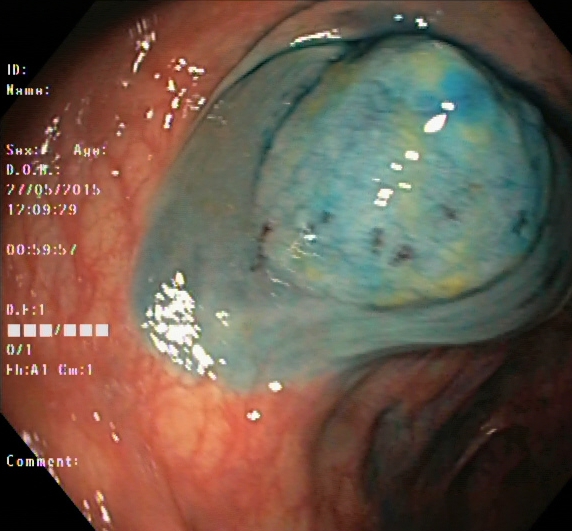Lower-GI endoscopy. Finding: dyed and lifted polyp (pre-resection).